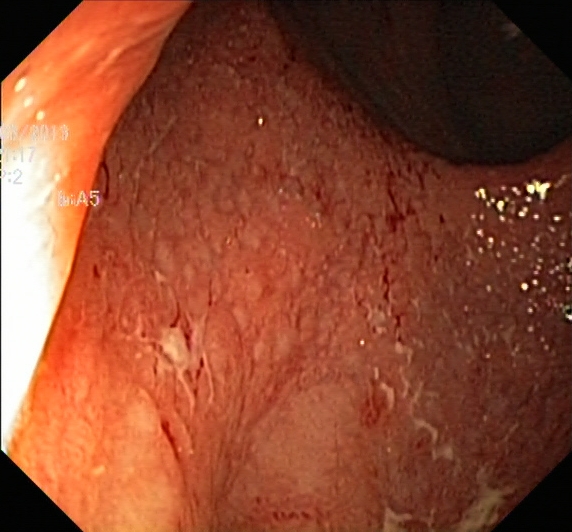This endoscopic image of the lower GI tract shows UC, Mayo endoscopic subscore 2.